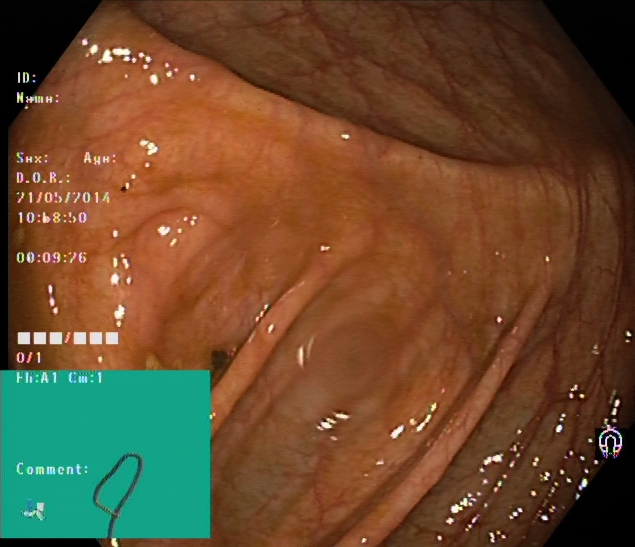PROCEDURE: Colonoscopy.
FINDINGS: Cecum.